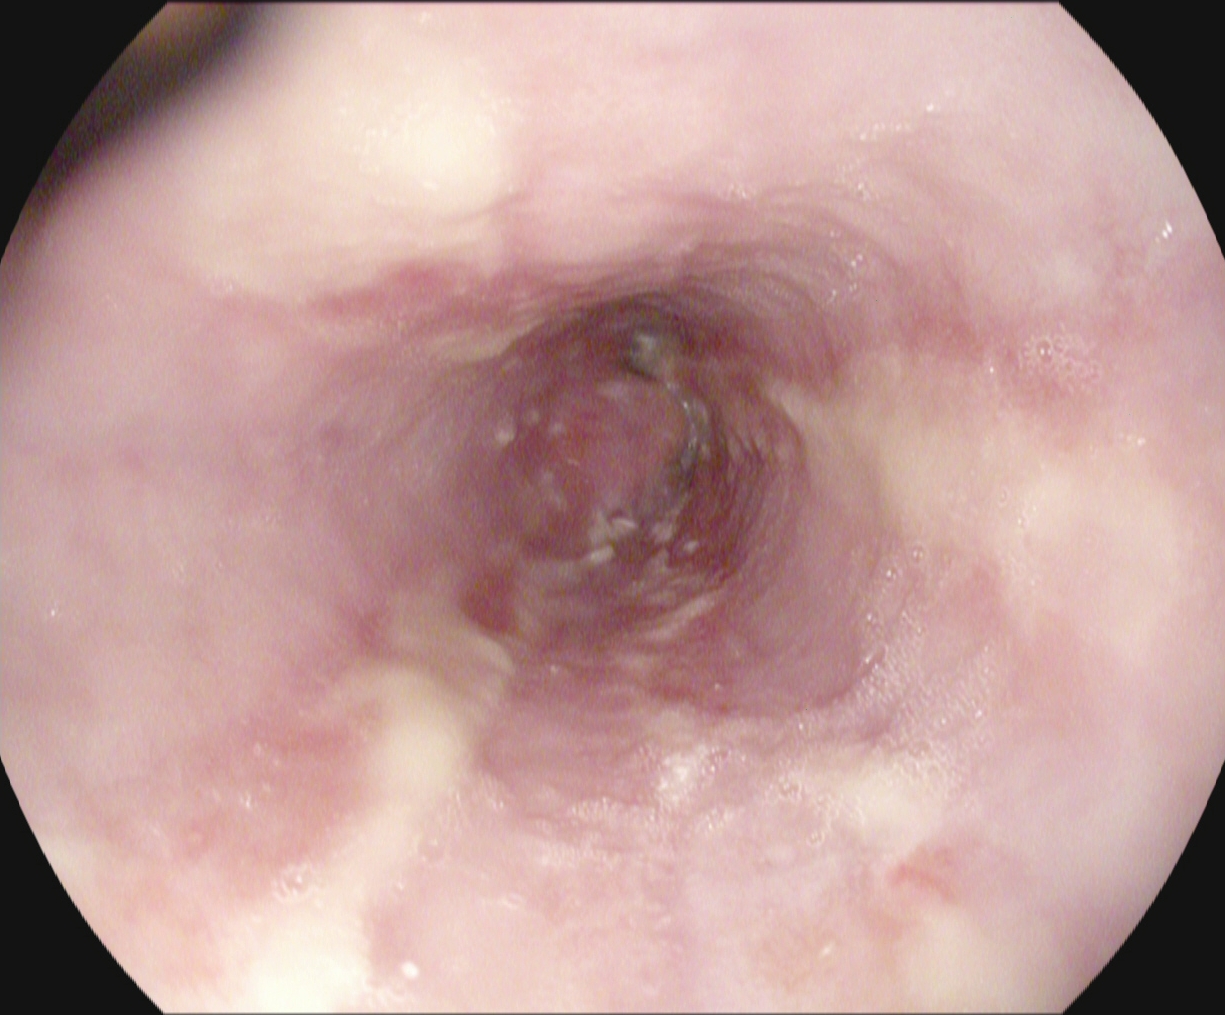modality: esophagogastroduodenoscopy
finding: reflux esophagitis, Los Angeles grade B–D